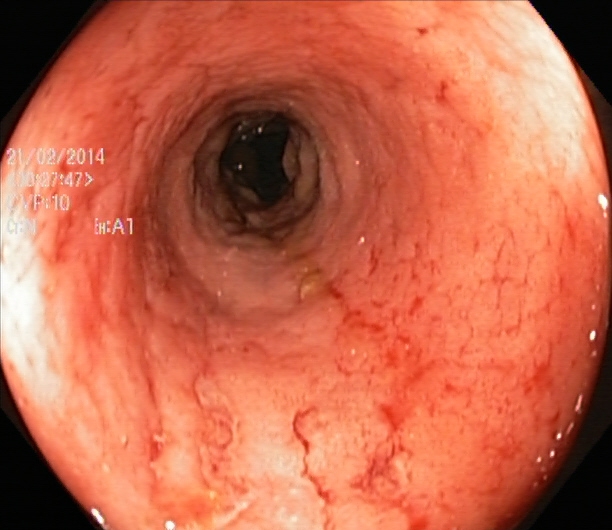UC, Mayo endoscopic subscore 2.